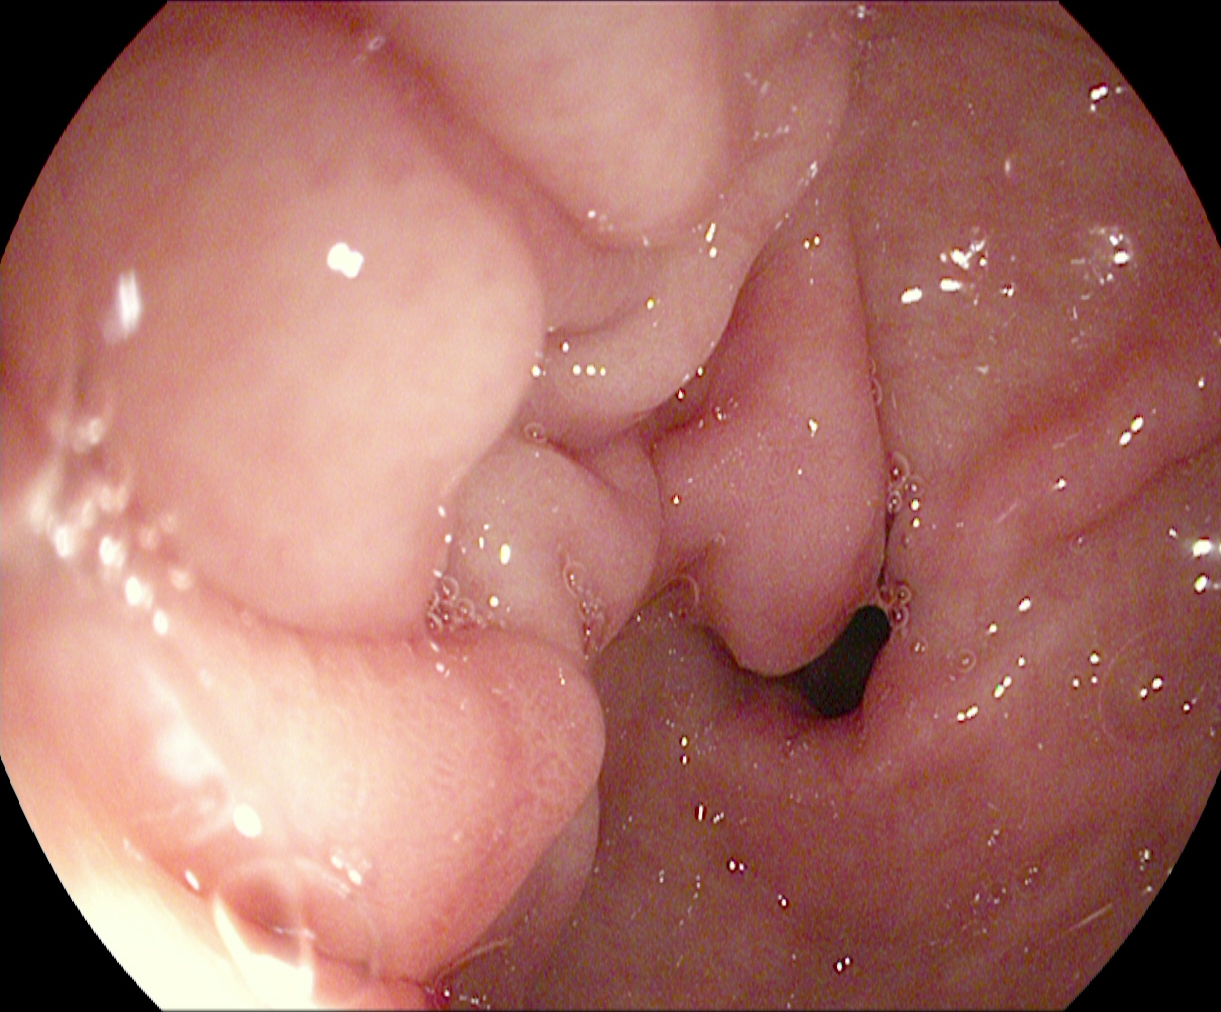Gastroscopy — pylorus.